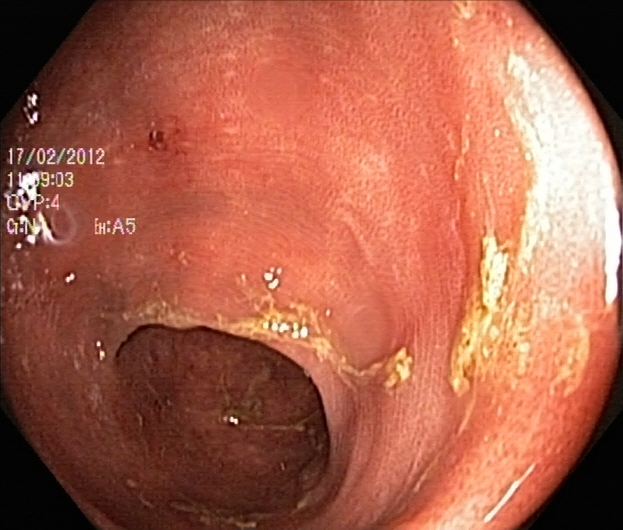modality: lower-GI endoscopy | finding: ulcerative colitis, Mayo endoscopic subscore 2